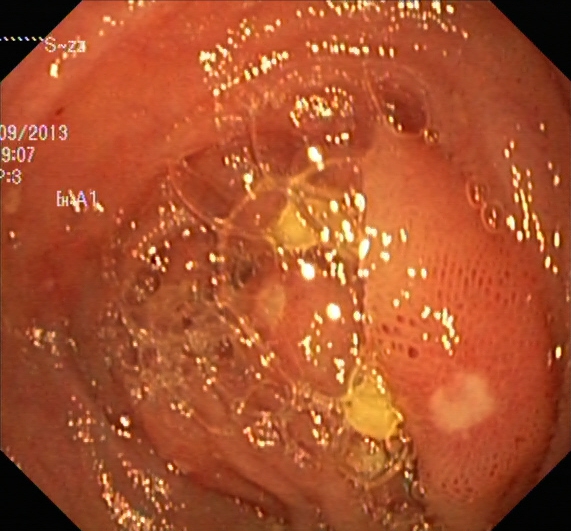Endoscopic image of the lower GI tract showing ulcerative colitis, Mayo endoscopic subscore 2.